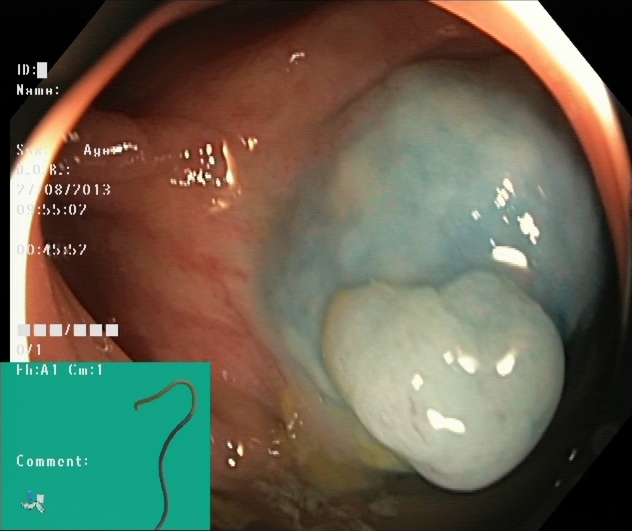Dyed and lifted polyp (pre-resection).